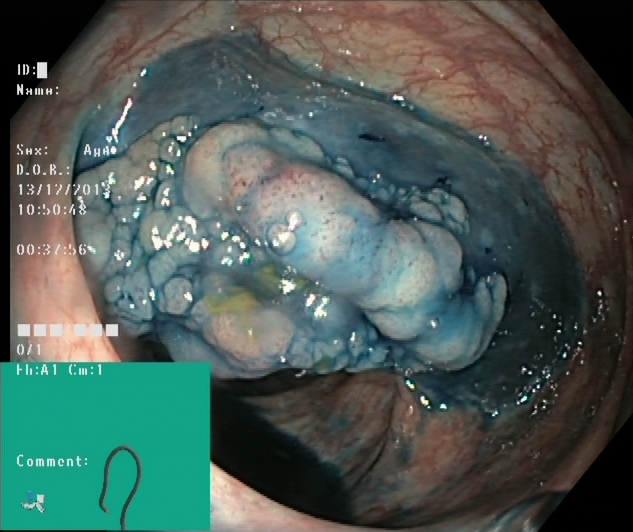PROCEDURE: Colonoscopy.
FINDINGS: Dyed and lifted polyp (pre-resection).